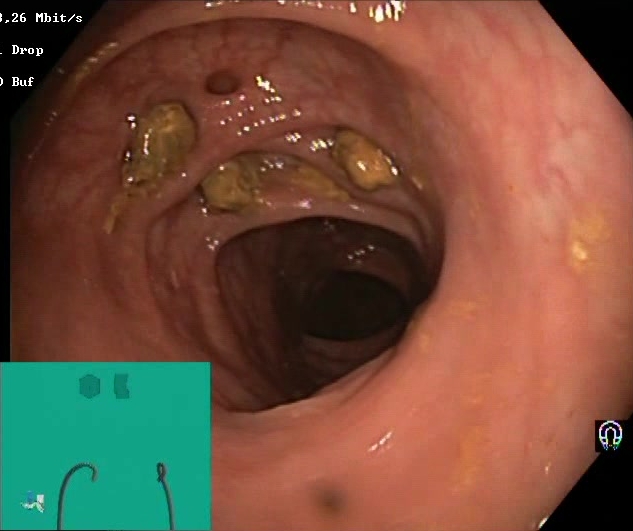Lower gastrointestinal endoscopy. Tract: lower GI tract. Finding: impacted stool.